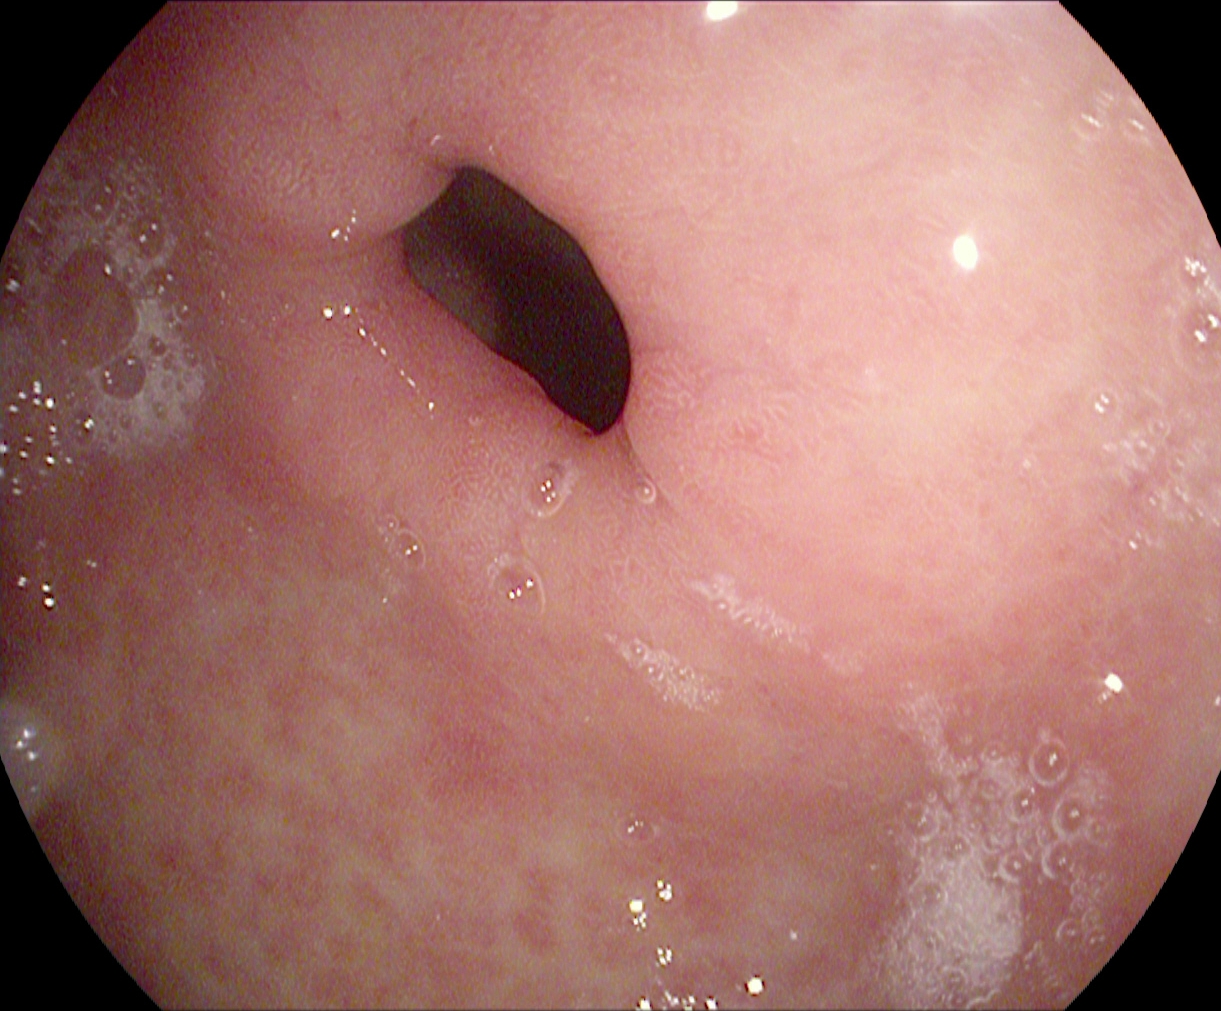Gastroscopy. Tract: upper GI tract. Anatomical landmark. Finding: pylorus.